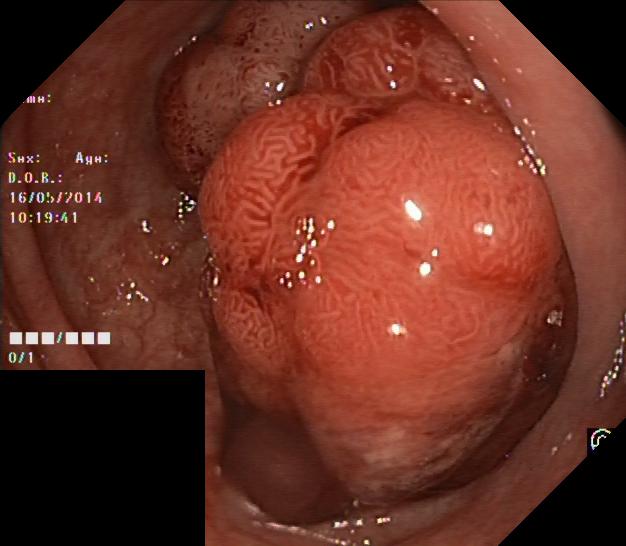Endoscopy image of the lower GI tract showing colorectal polyp(s).